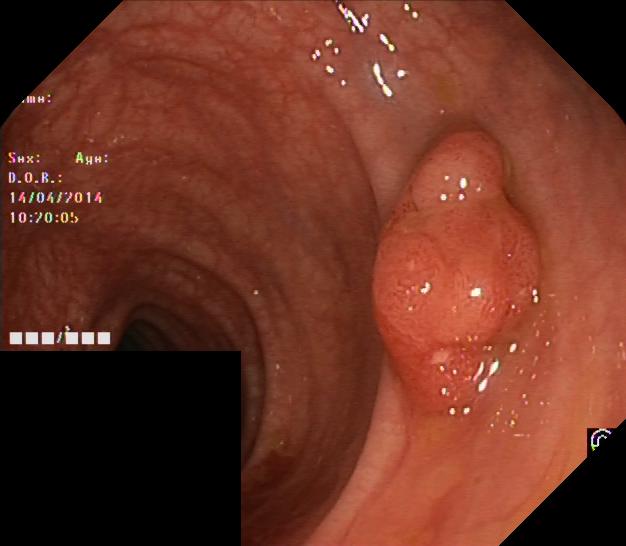modality: lower-GI endoscopy | tract: lower GI tract | finding: colorectal polyp(s)